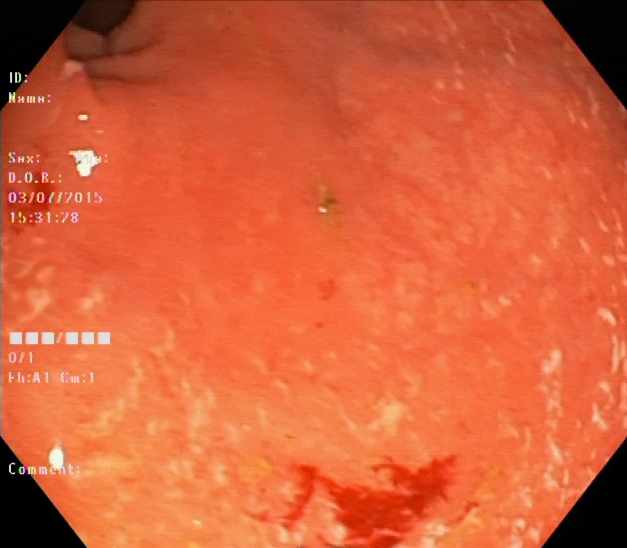This endoscopy frame of the lower GI tract shows ulcerative colitis, Mayo endoscopic subscore 2.